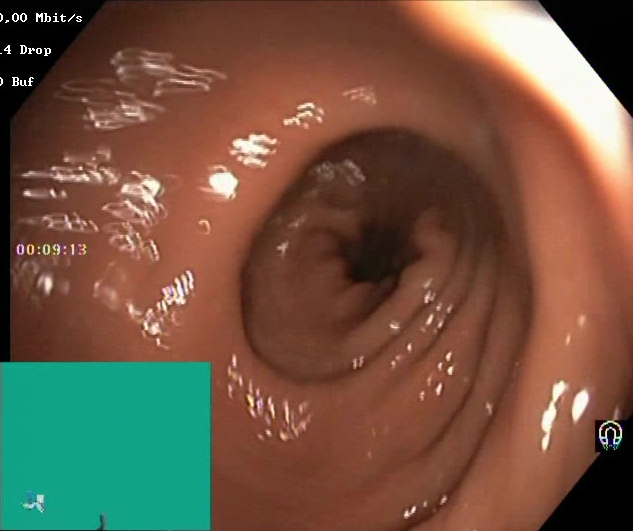modality: lower gastrointestinal endoscopy | tract: lower GI tract | finding: Boston Bowel Preparation Scale score 2–3 (adequate preparation)